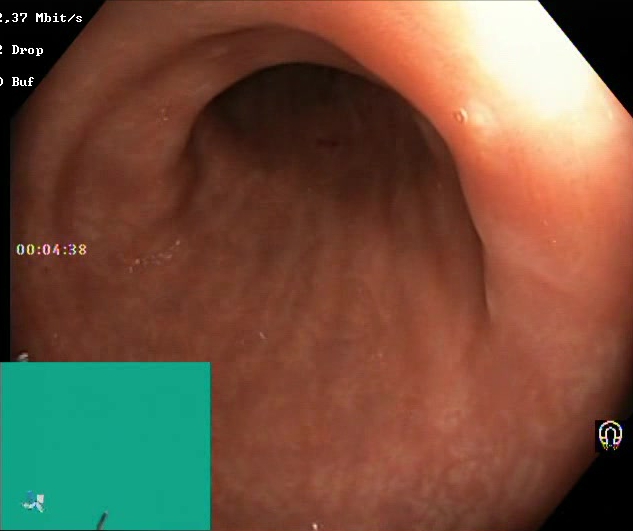{"modality": "lower-GI endoscopy", "finding": "Boston Bowel Preparation Scale score 2\u20133 (adequate preparation)"}